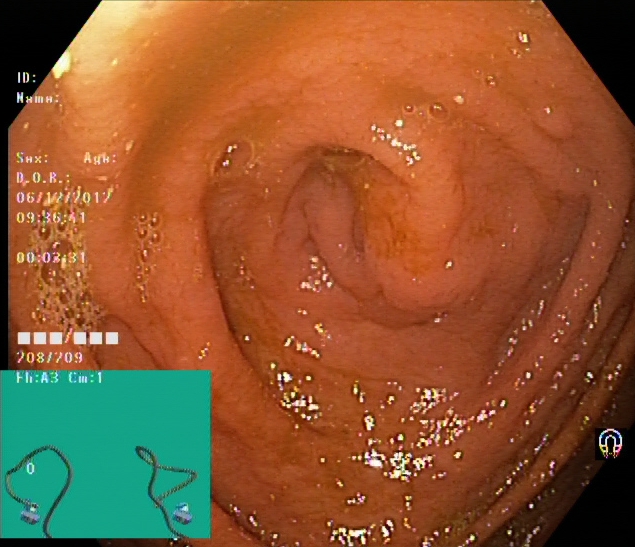Endoscopic frame showing cecum.